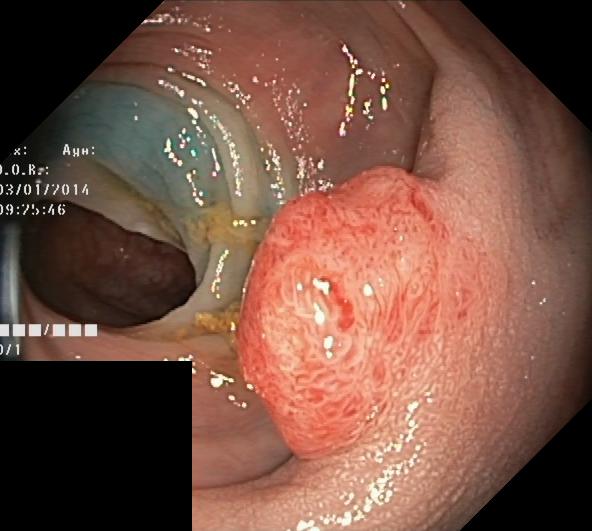Colonoscopy. Finding: colorectal polyp(s).